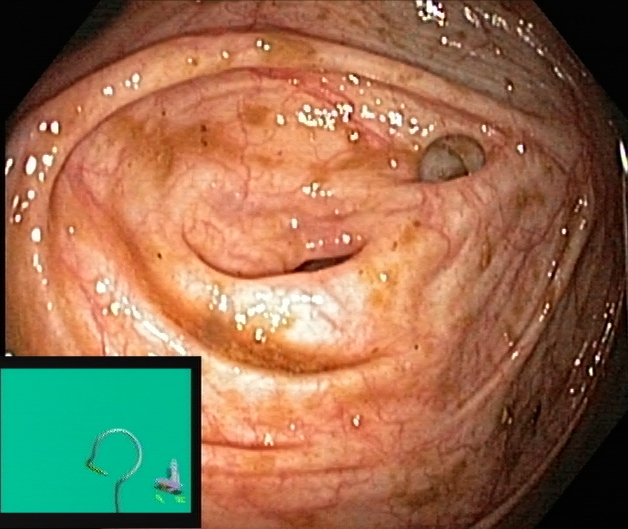This endoscopic image shows cecum.